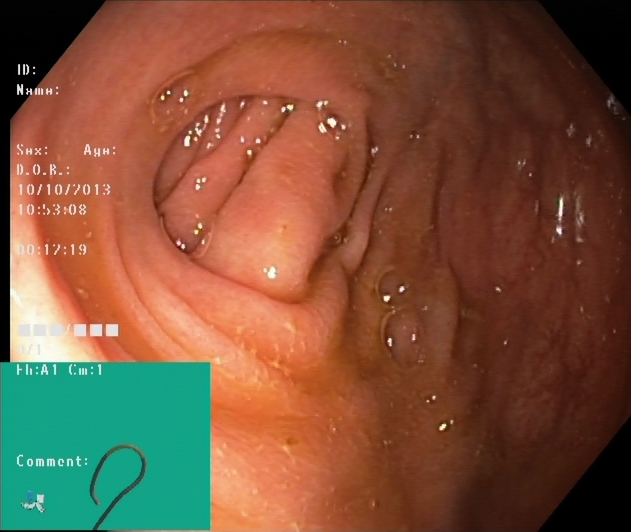Lower gastrointestinal endoscopy. Tract: lower GI tract. Finding: cecum.